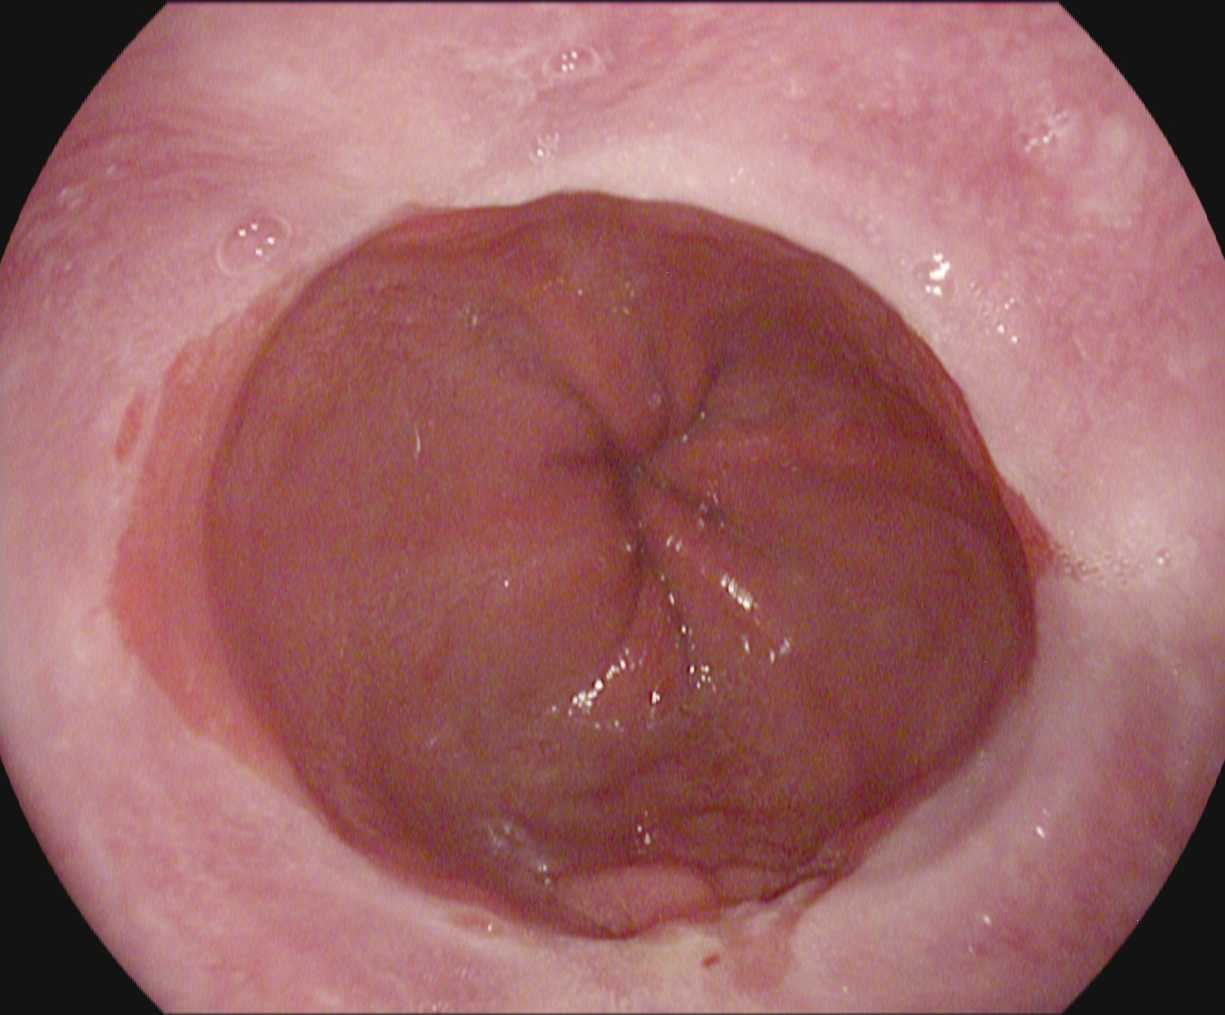Gastrointestinal endoscopy image of the upper GI tract showing reflux esophagitis, Los Angeles grade B–D.